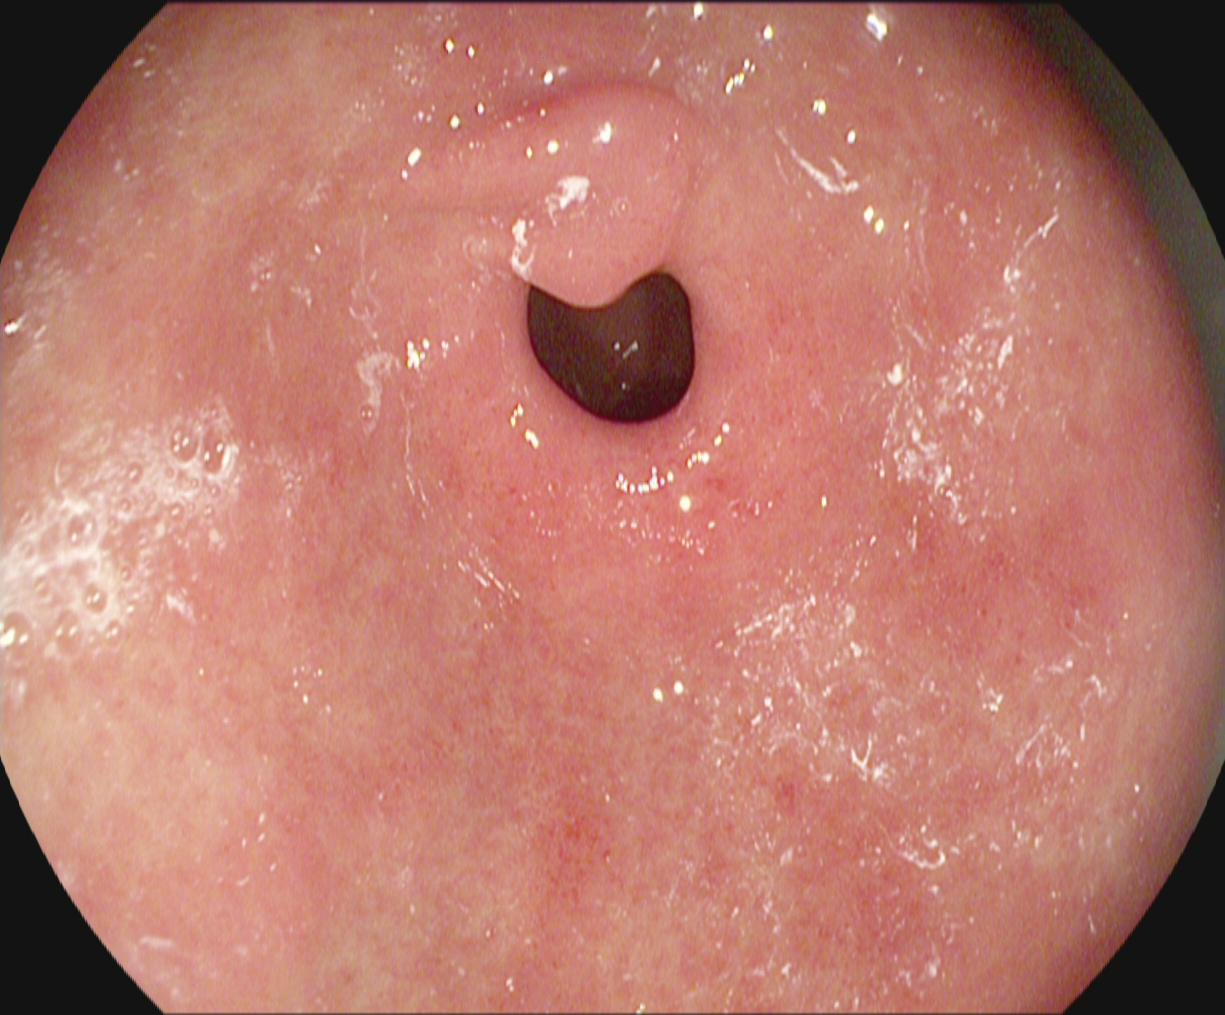EGD image showing pylorus.